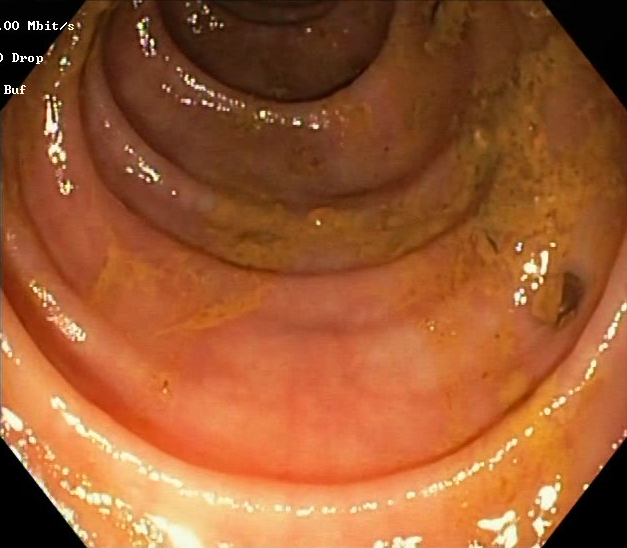Lower gastrointestinal endoscopy. Tract: lower GI tract. Mucosal-view quality. Finding: BBPS score 0–1 (inadequate preparation).